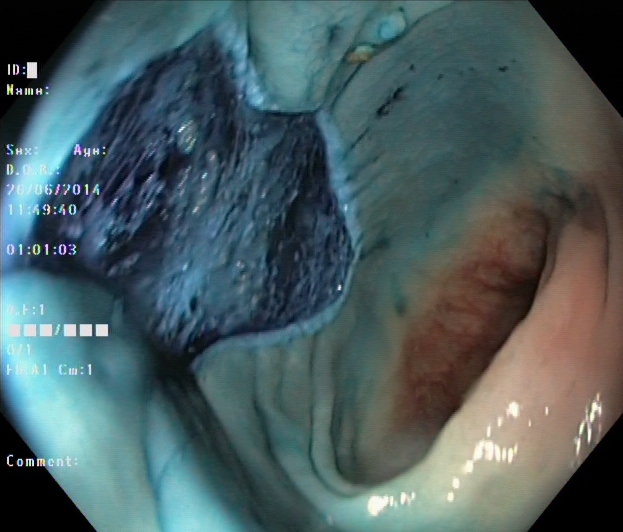Dyed resection margins (post-polypectomy).